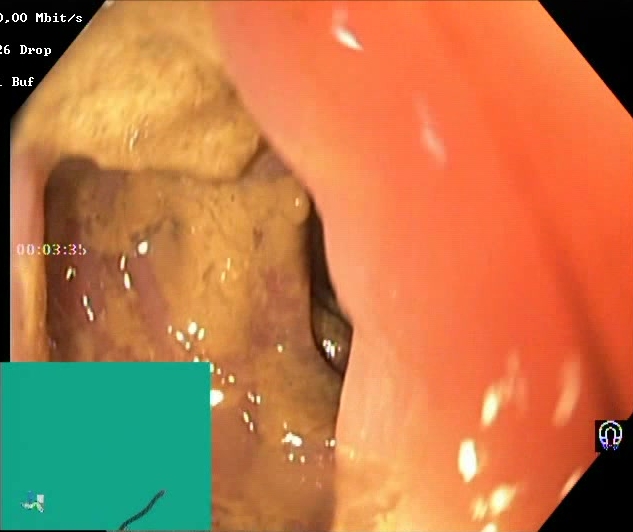modality: lower-GI endoscopy
tract: lower GI tract
finding: BBPS score 0–1 (inadequate preparation)